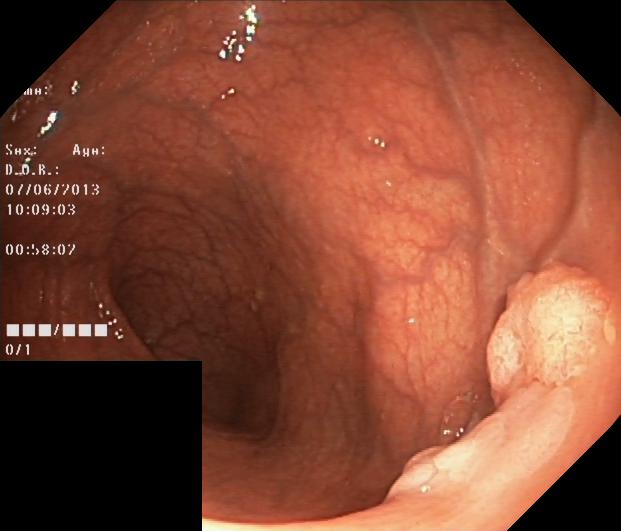modality: colonoscopy | category: pathological finding | finding: colorectal polyp(s)